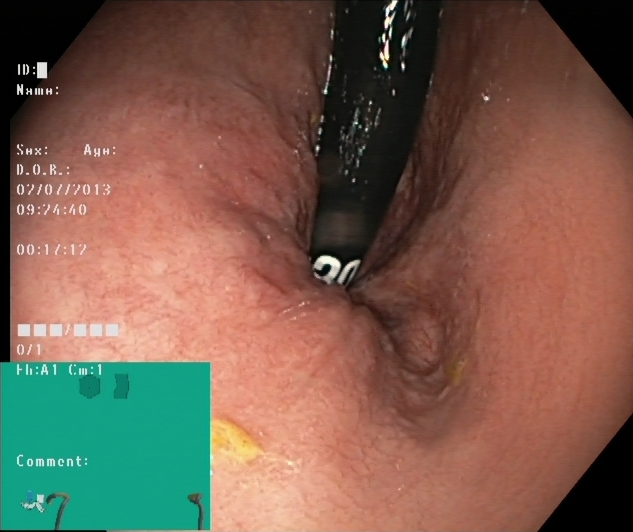This endoscopic image of the lower GI tract shows rectum in retroflexion.